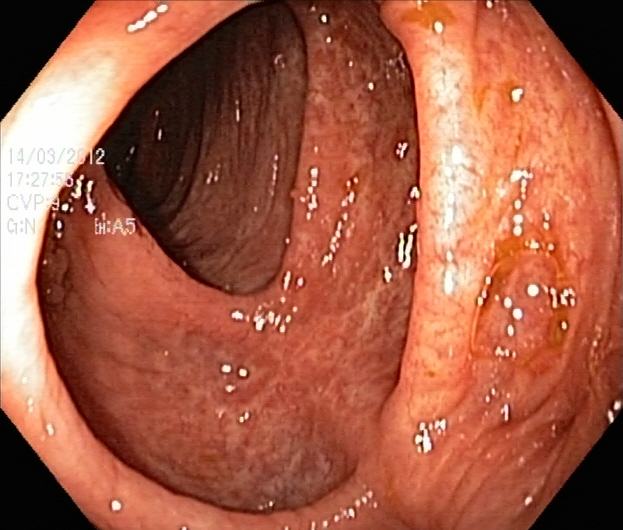Colonoscopy — ulcerative colitis, Mayo endoscopic subscore 2.